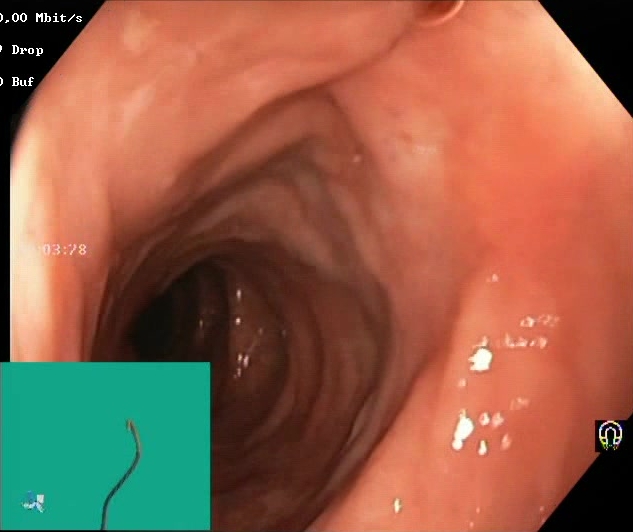modality: colonoscopy; tract: lower GI tract; finding: BBPS score 2–3 (adequate preparation)